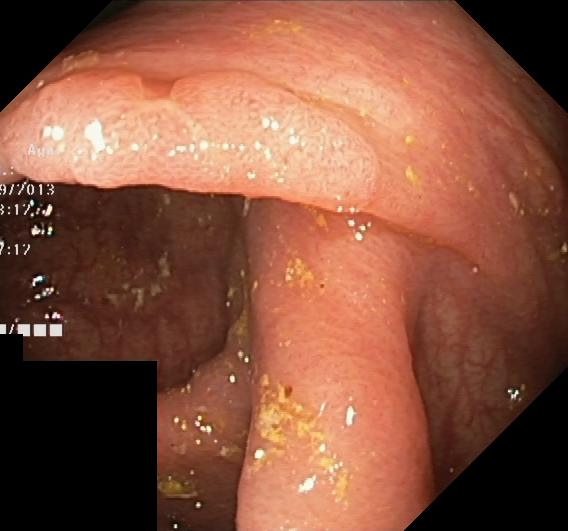Endoscopic frame of the lower GI tract showing colorectal polyp(s).